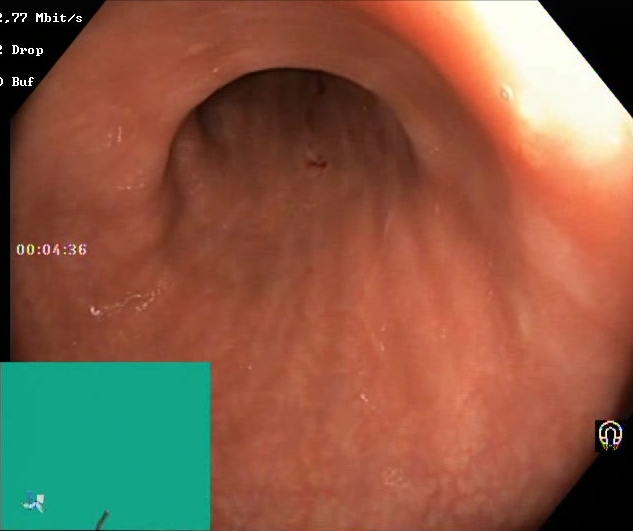Gastrointestinal endoscopy image showing Boston Bowel Preparation Scale score 2–3 (adequate preparation).